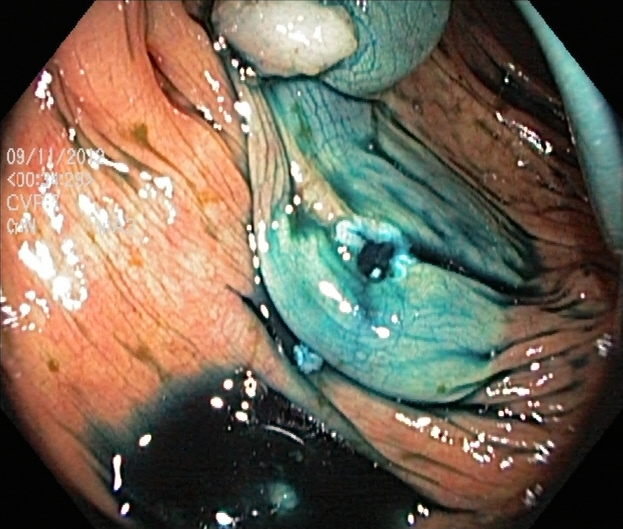This endoscopy frame shows dyed and lifted polyp (pre-resection).